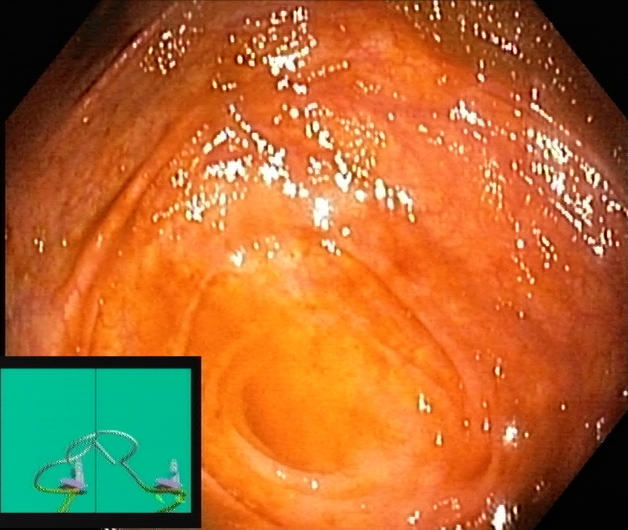cecum.